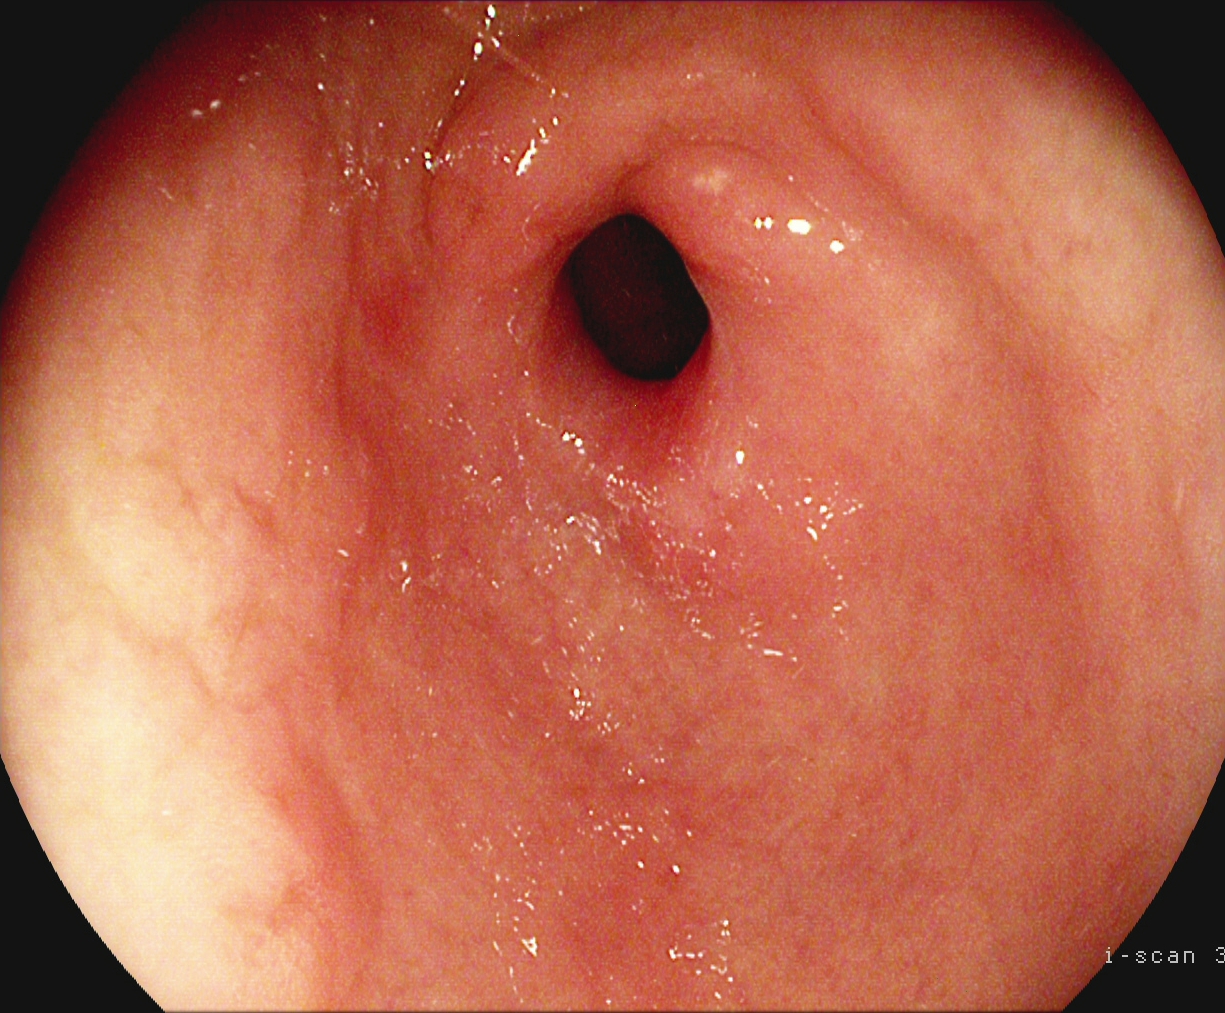This endoscopy frame of the upper GI tract shows pylorus.